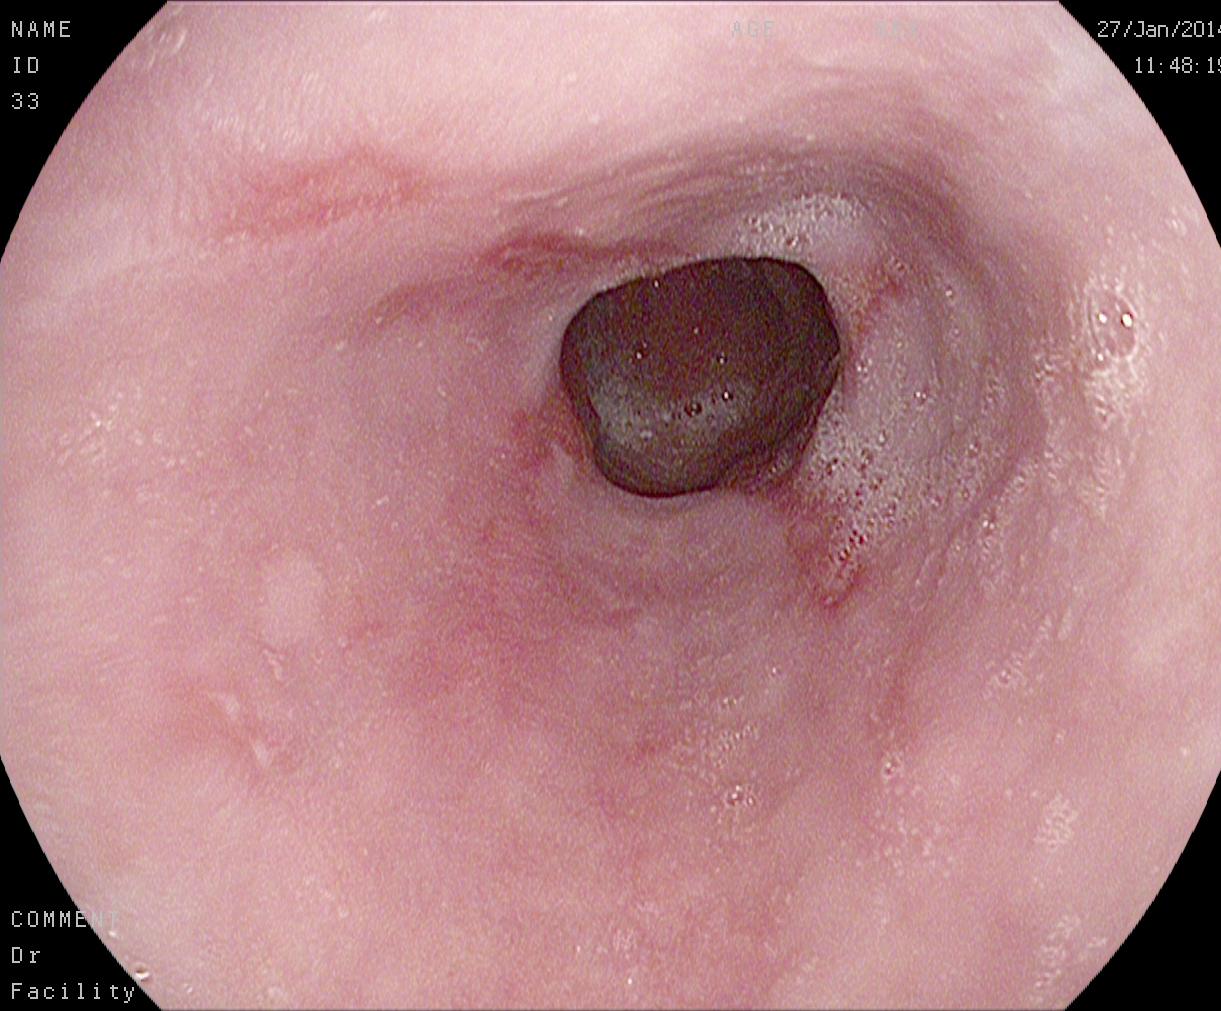EGD. Pathological finding. Finding: reflux esophagitis, Los Angeles grade A.